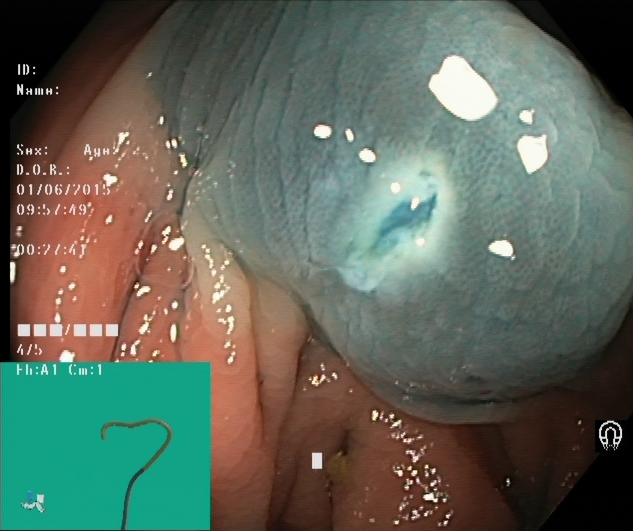{"modality": "lower gastrointestinal endoscopy", "finding": "dyed resection margins (post-polypectomy)"}